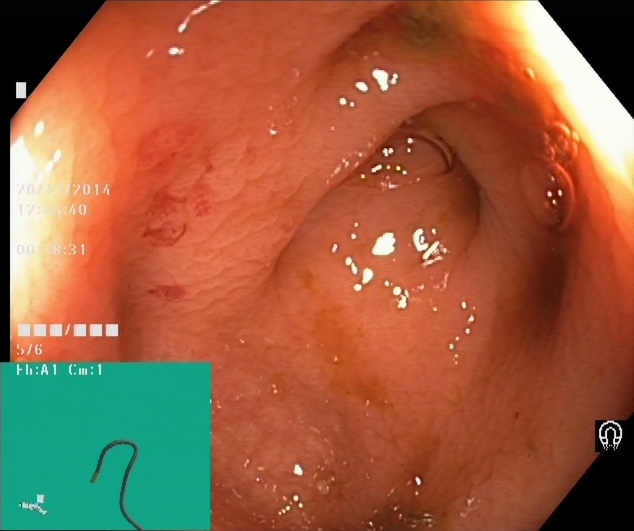modality: colonoscopy | category: anatomical landmark | finding: cecum